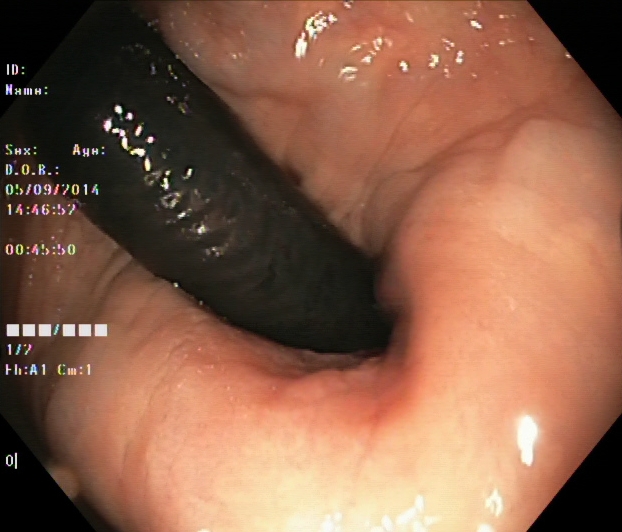Stomach in retroflexion.